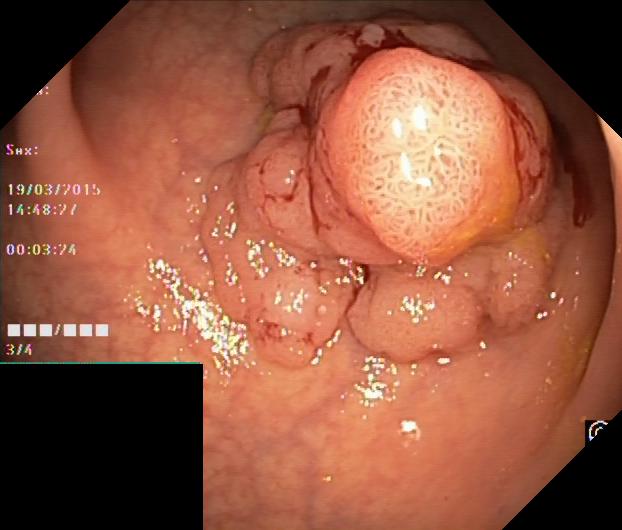This endoscopic image shows colorectal polyp(s).